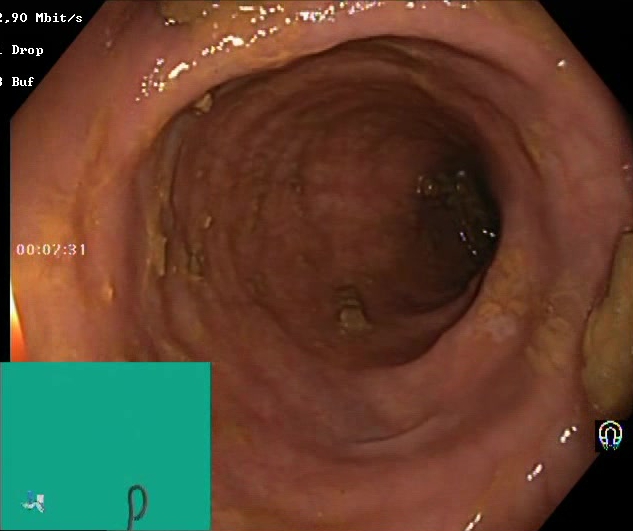Lower gastrointestinal endoscopy — Boston Bowel Preparation Scale score 2–3 (adequate preparation).